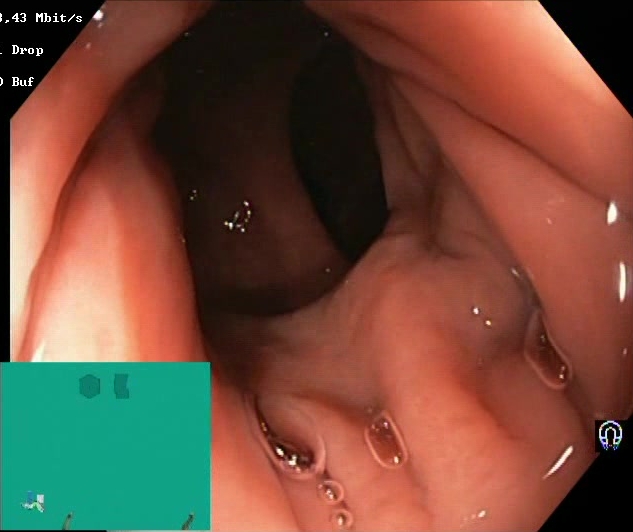Endoscopic frame of the lower GI tract showing Boston Bowel Preparation Scale score 2–3 (adequate preparation).